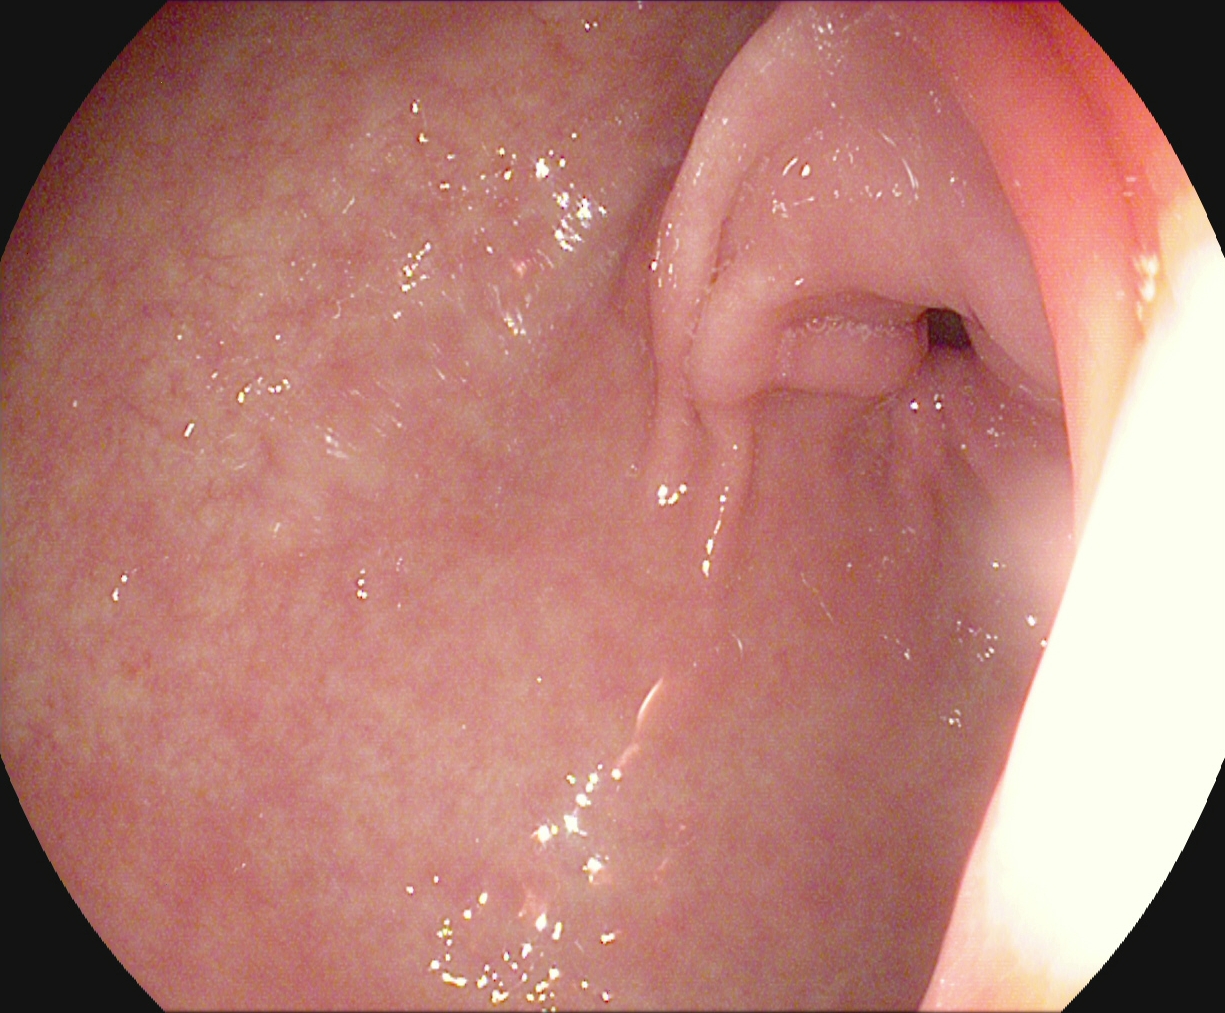{"modality": "gastroscopy", "finding": "pylorus"}